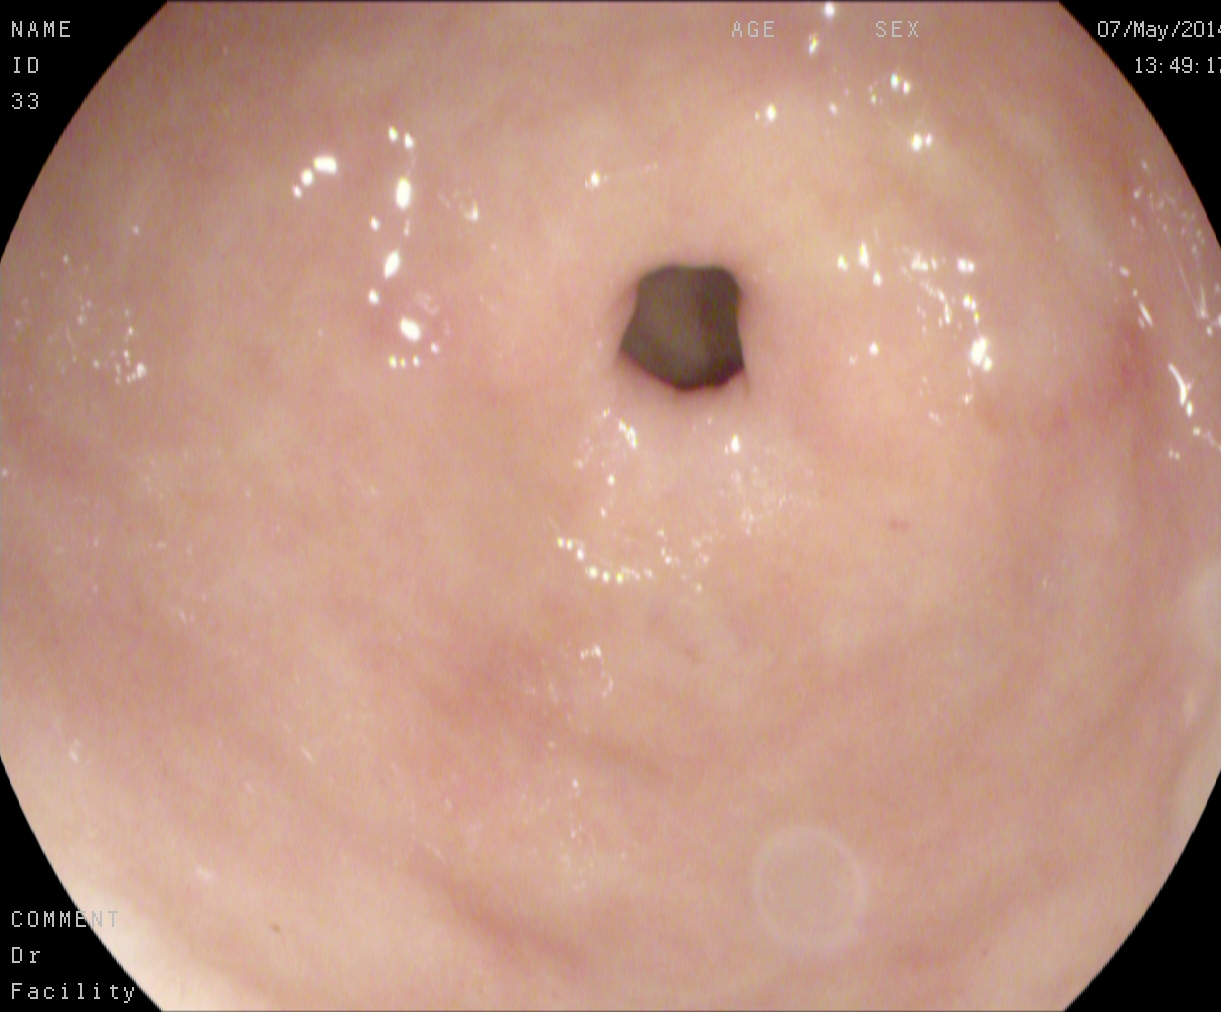Esophagogastroduodenoscopy. Tract: upper GI tract. Anatomical landmark. Finding: pylorus.